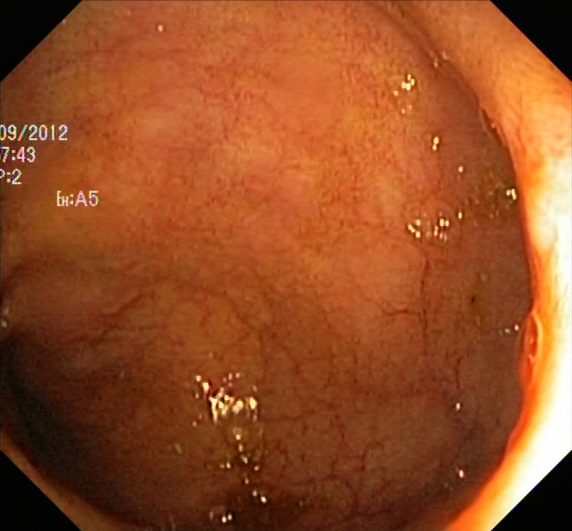Colonoscopy — ulcerative colitis, Mayo endoscopic subscore 1.